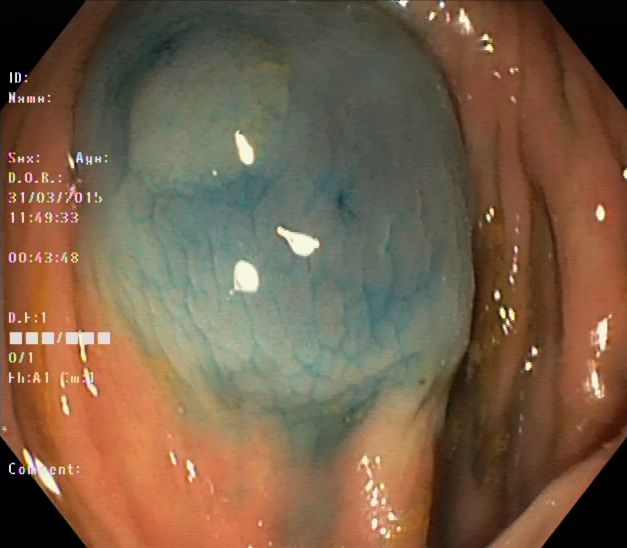dyed and lifted polyp (pre-resection).